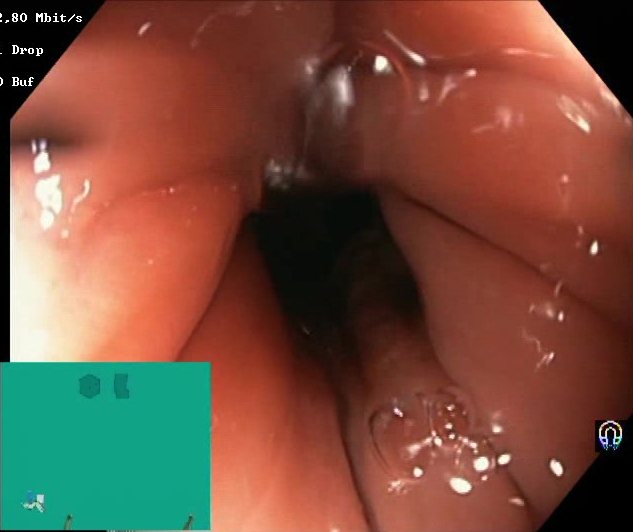Lower-GI endoscopy — Boston Bowel Preparation Scale score 2–3 (adequate preparation).